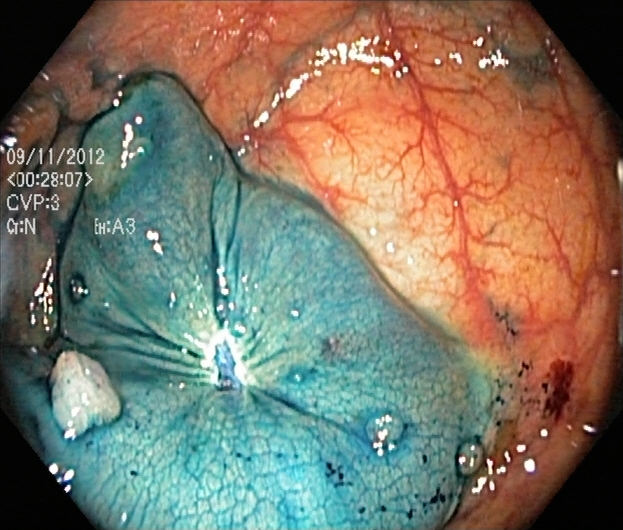Colonoscopy. Tract: lower GI tract. Therapeutic intervention. Finding: dyed resection margins (post-polypectomy).